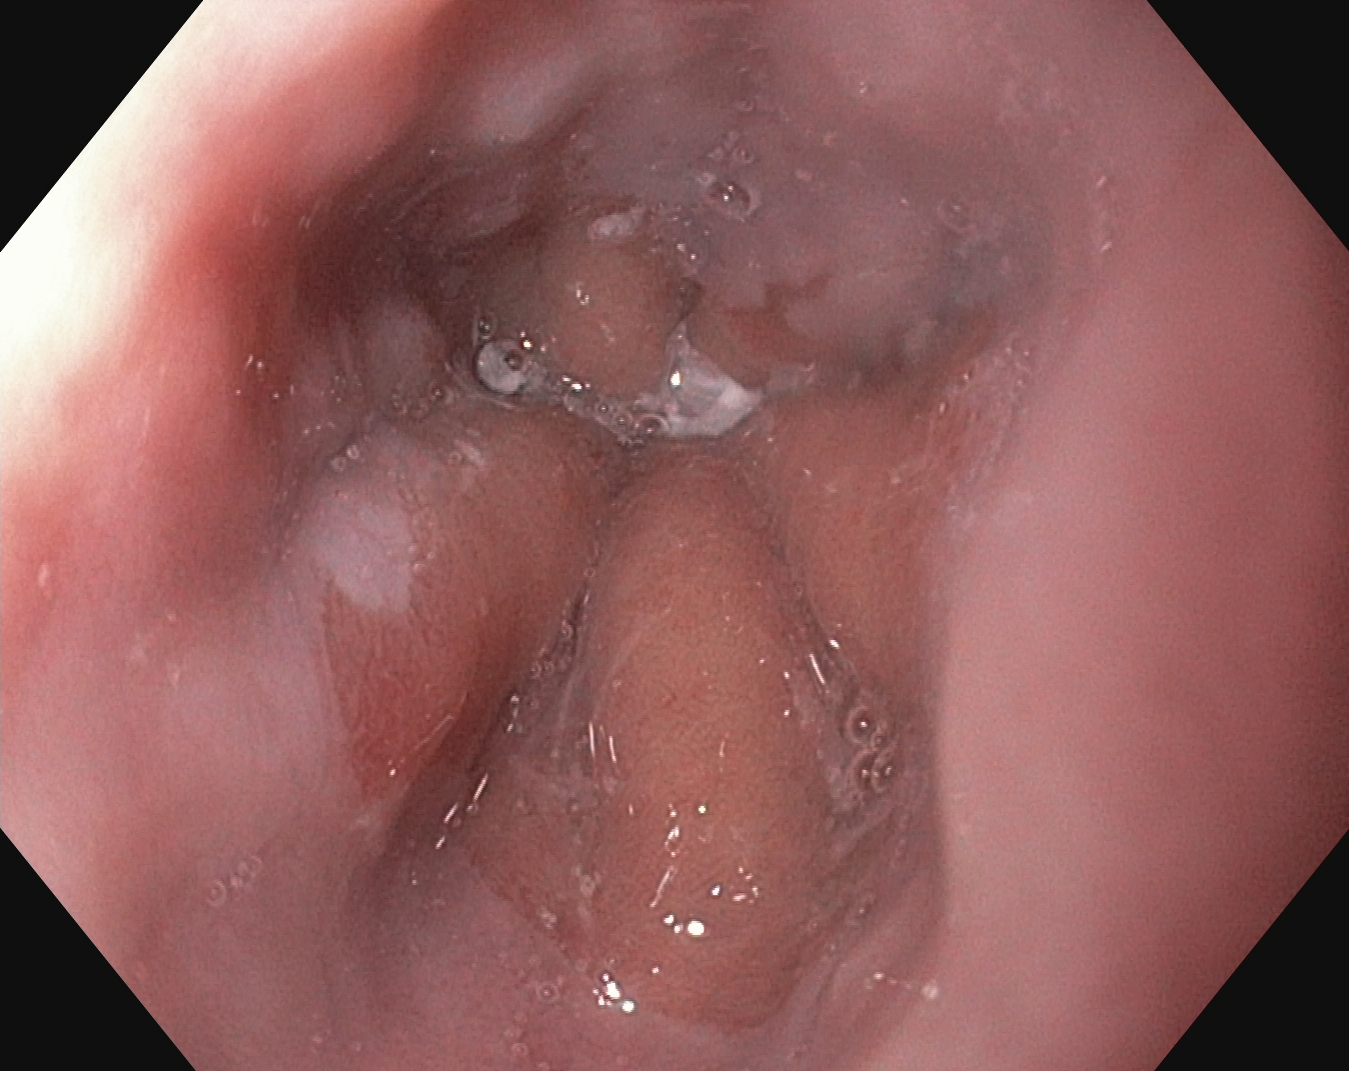modality: EGD; tract: upper GI tract; finding: Z-line (gastroesophageal junction)